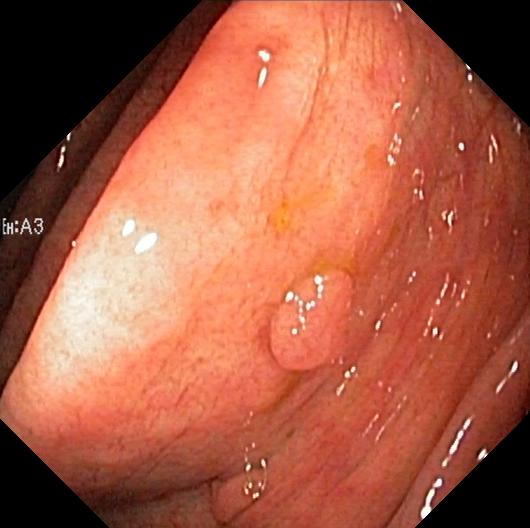This endoscopy frame shows colorectal polyp(s).